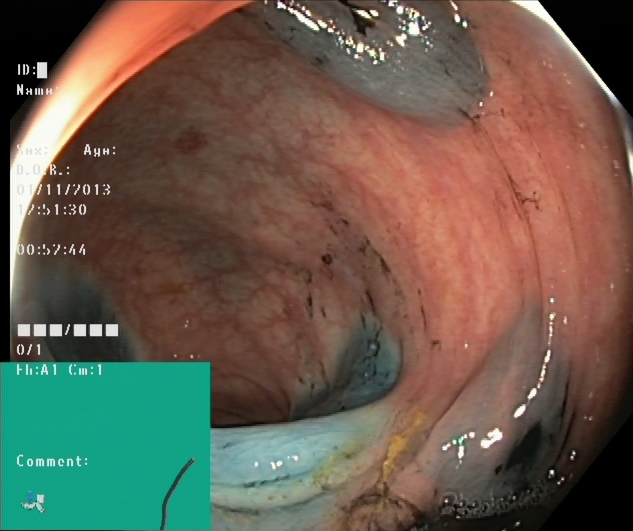Colonoscopy. Tract: lower GI tract. Finding: dyed resection margins (post-polypectomy).